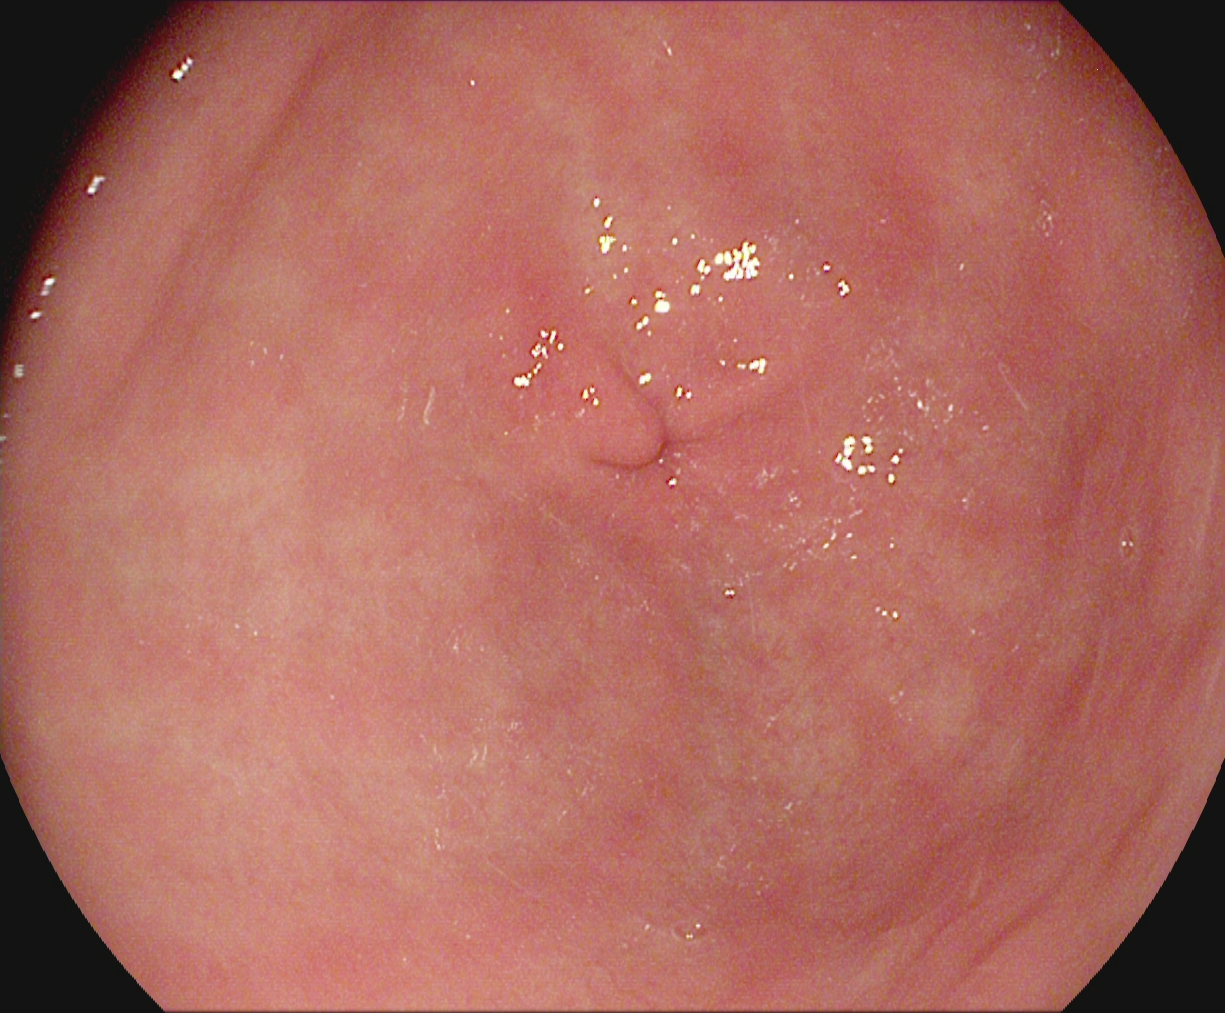Esophagogastroduodenoscopy — pylorus.